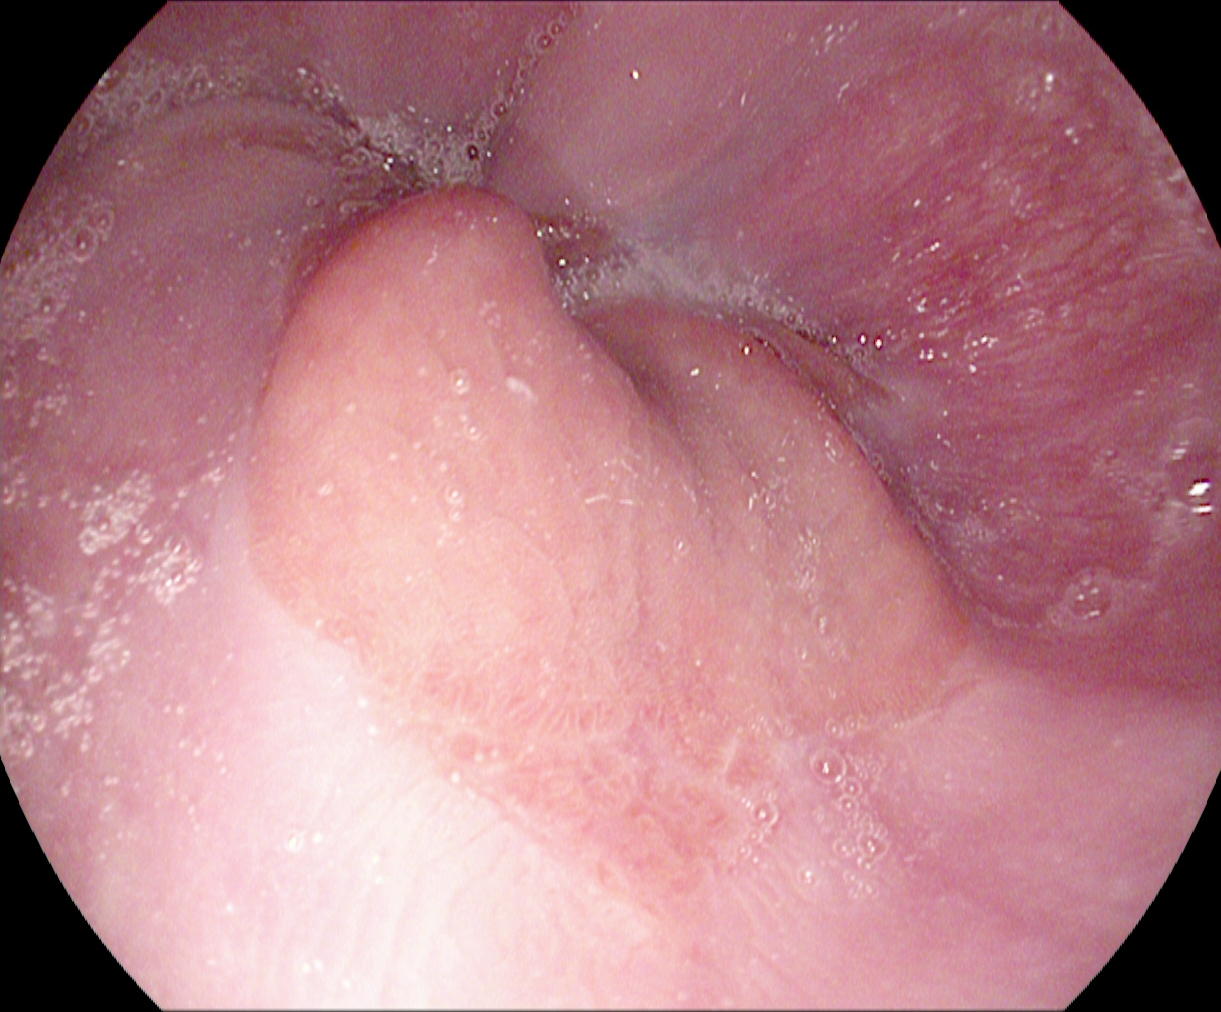Upper-GI endoscopy — Z-line (gastroesophageal junction).